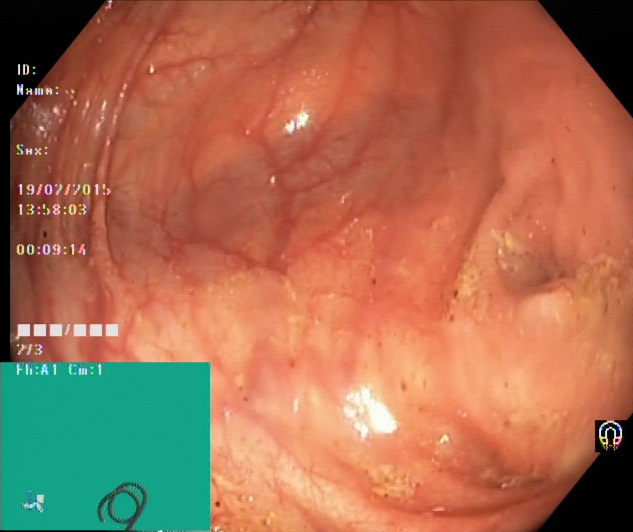Cecum.